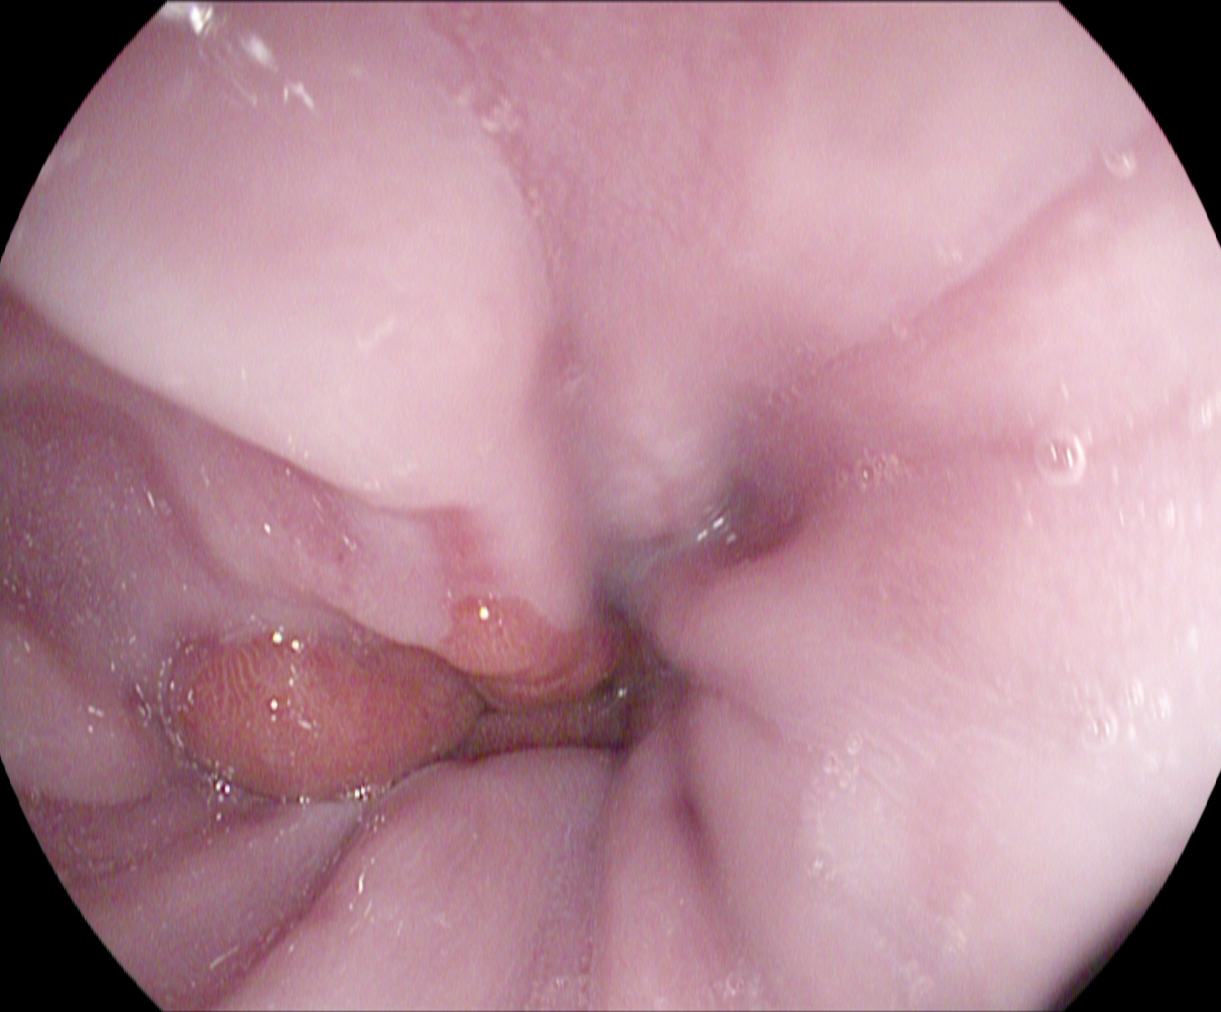This endoscopic image shows reflux esophagitis, Los Angeles grade A.